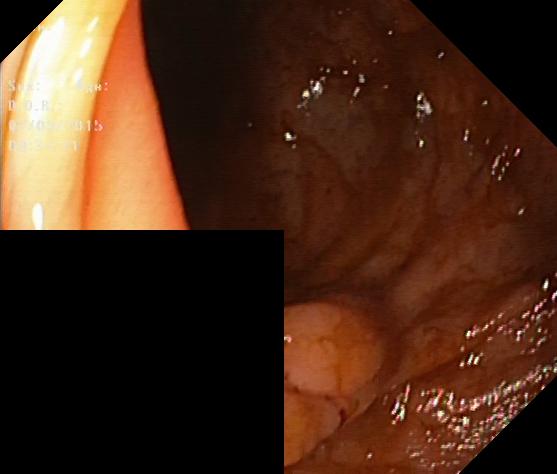This endoscopic image shows colorectal polyp(s).